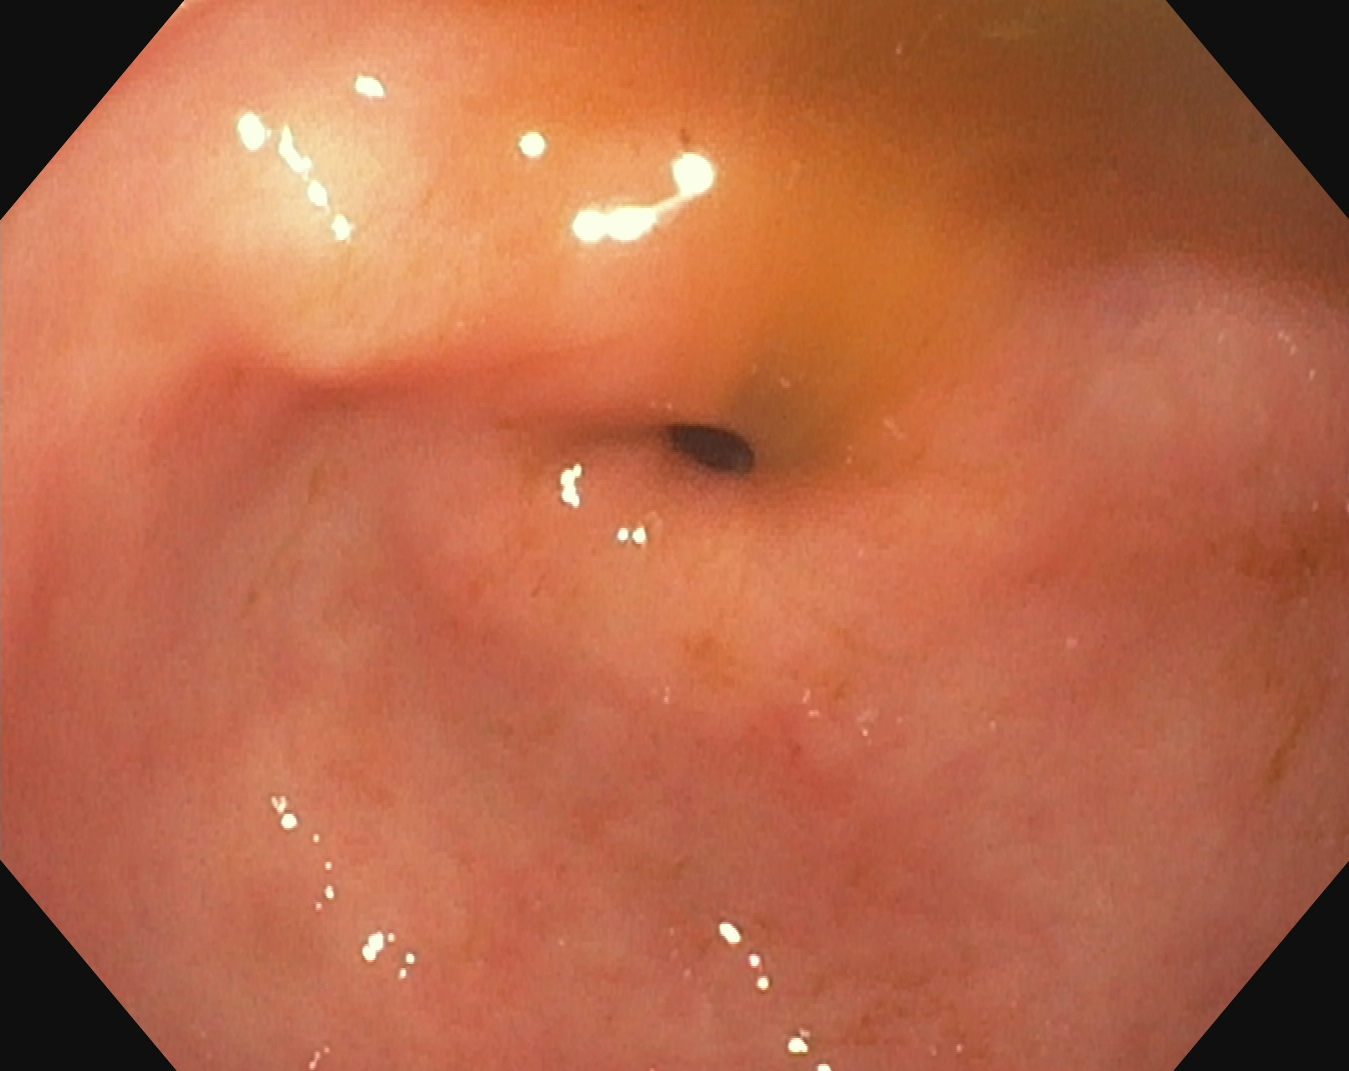This endoscopy frame of the upper GI tract shows pylorus.